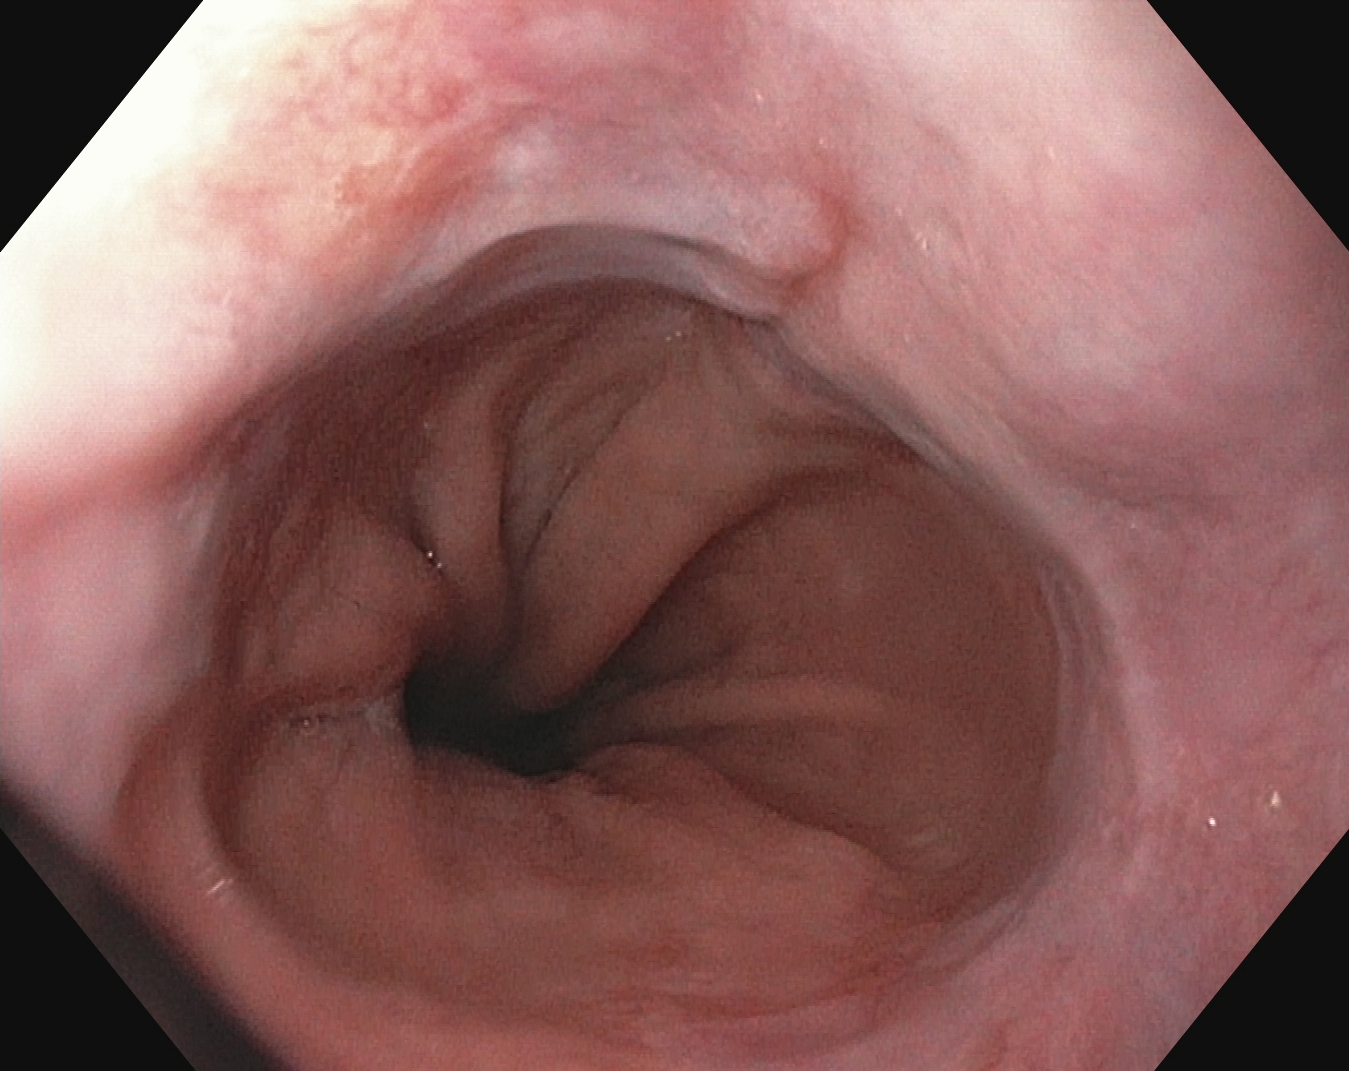{"modality": "upper-GI endoscopy", "tract": "upper GI tract", "finding": "reflux esophagitis, LA grade A"}